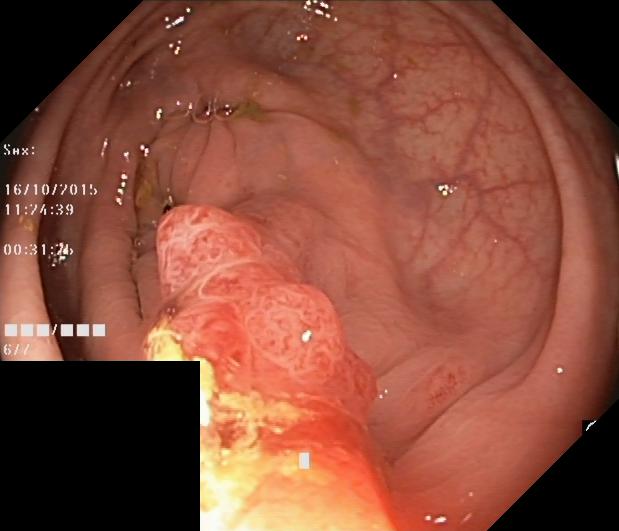Colorectal polyp(s).